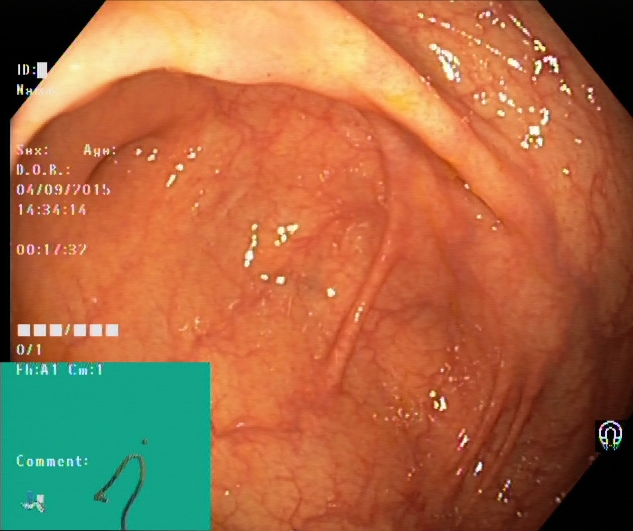Colonoscopy image of the lower GI tract showing cecum.